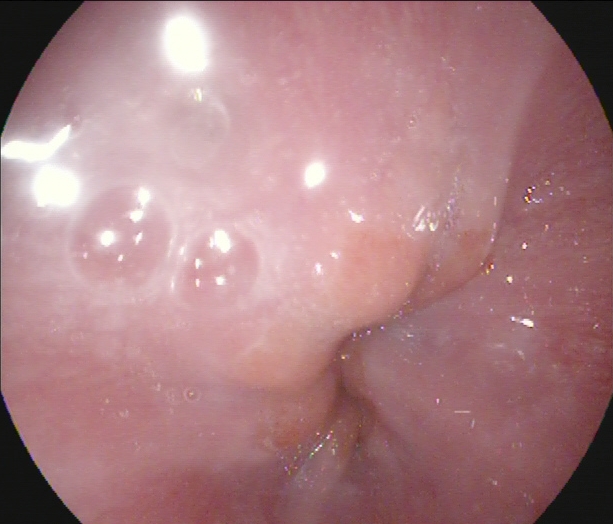{"modality": "esophagogastroduodenoscopy", "tract": "upper GI tract", "finding": "Z-line (gastroesophageal junction)"}